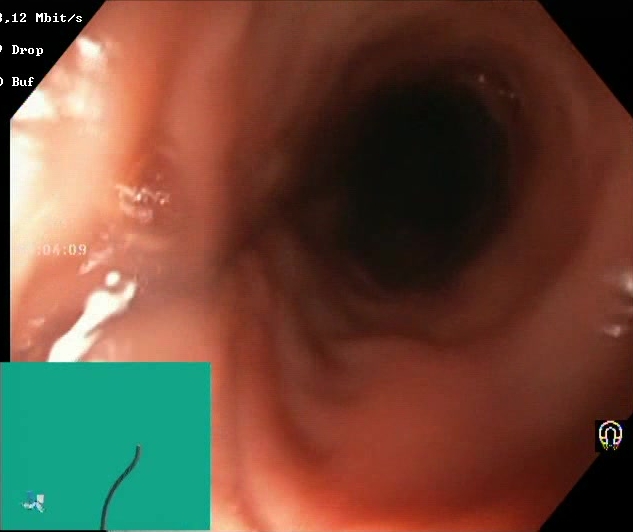Colonoscopy. Tract: lower GI tract. Mucosal-view quality. Finding: Boston Bowel Preparation Scale score 2–3 (adequate preparation).